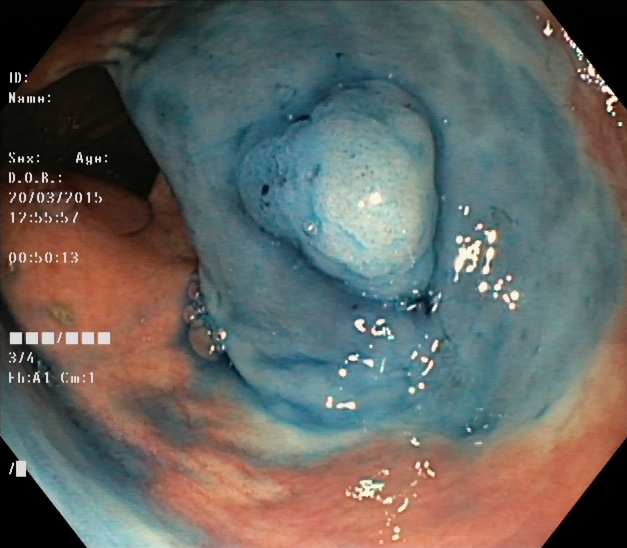{"modality": "lower-GI endoscopy", "tract": "lower GI tract", "category": "therapeutic intervention", "finding": "dyed and lifted polyp (pre-resection)"}